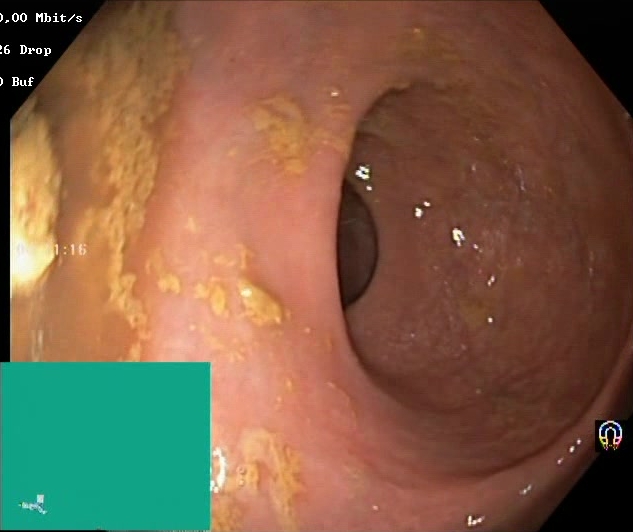Lower-GI endoscopy — Boston Bowel Preparation Scale score 0–1 (inadequate preparation).